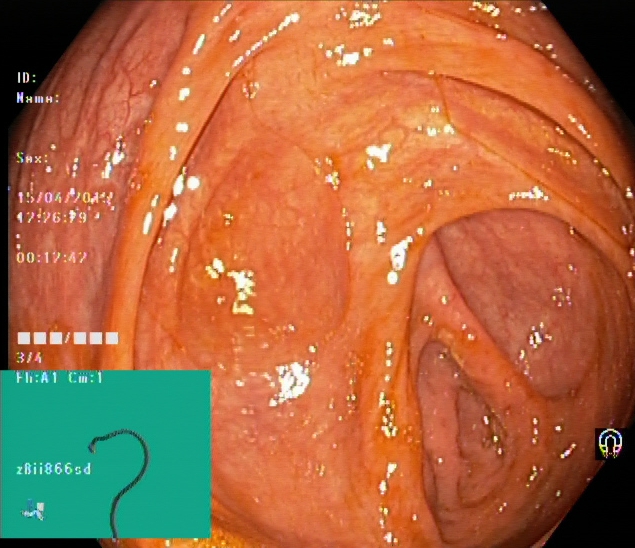modality: lower-GI endoscopy
tract: lower GI tract
category: anatomical landmark
finding: cecum